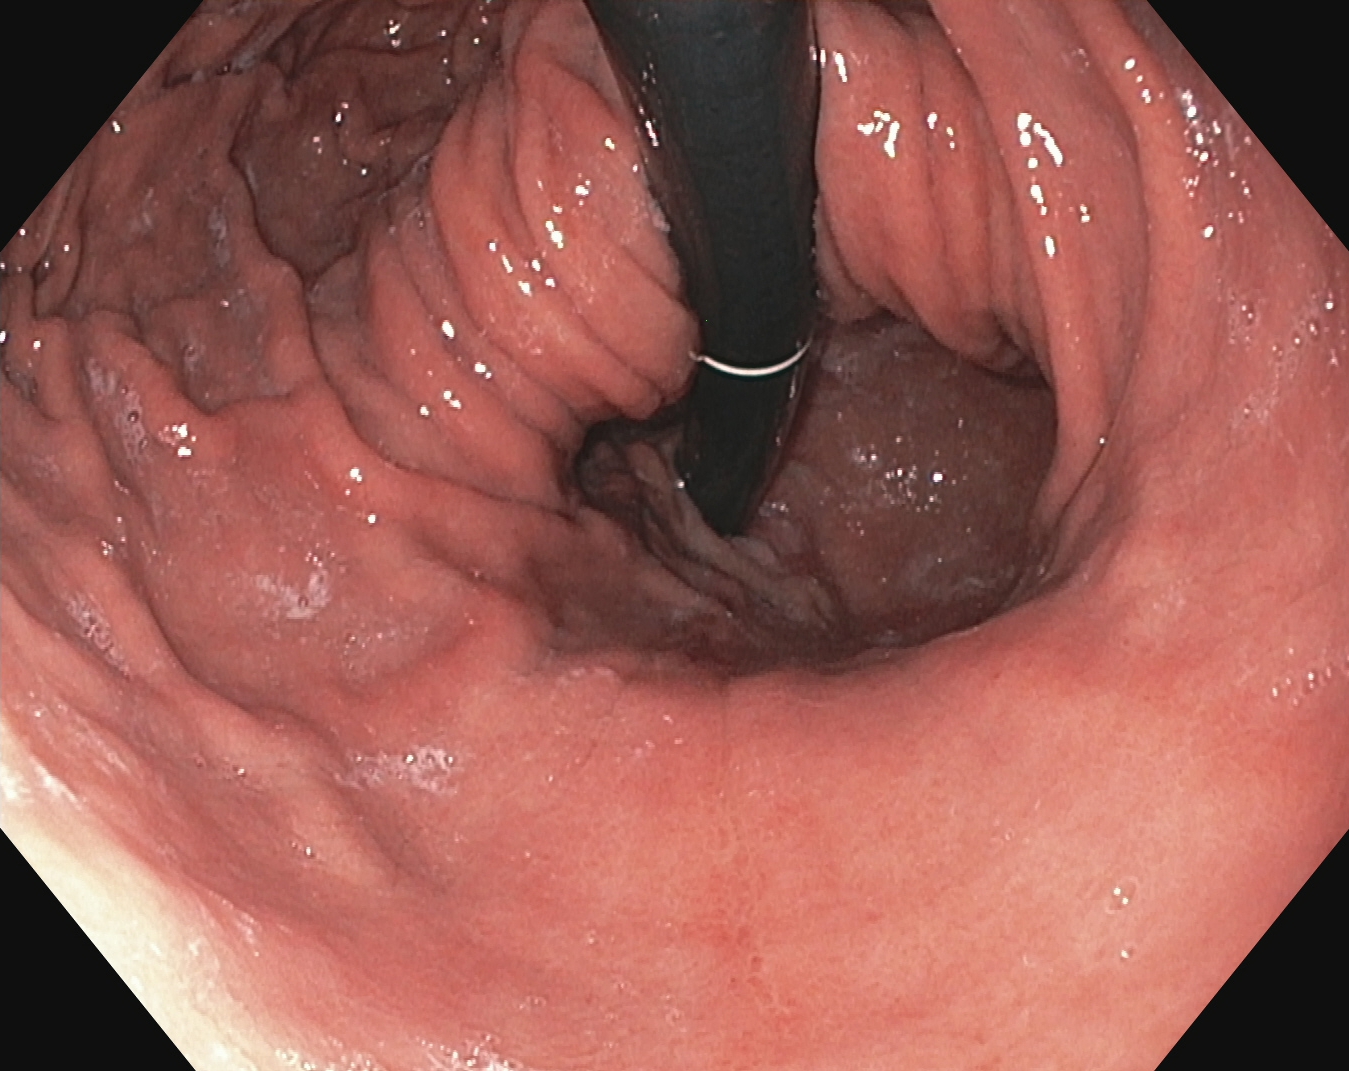PROCEDURE: Upper-GI endoscopy.
CATEGORY: Anatomical landmark.
FINDINGS: Stomach in retroflexion.